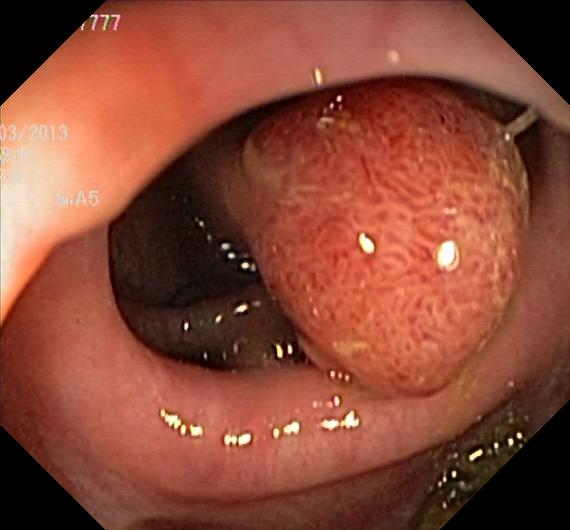colorectal polyp(s).